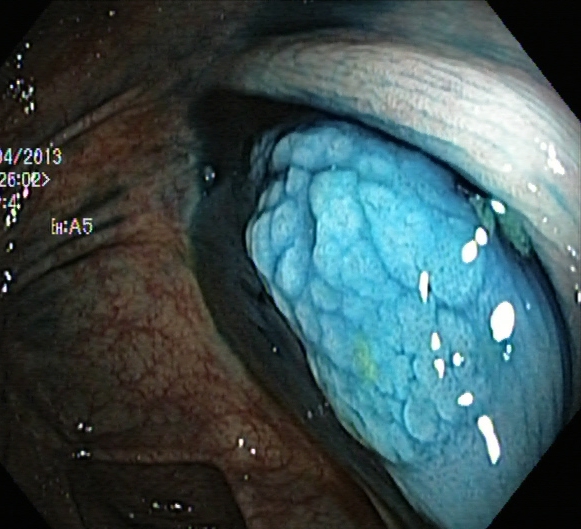{"modality": "lower gastrointestinal endoscopy", "category": "therapeutic intervention", "finding": "dyed and lifted polyp (pre-resection)"}